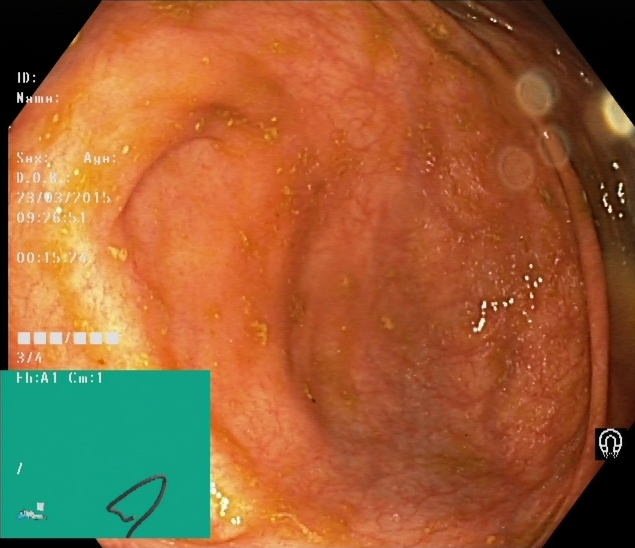PROCEDURE: Lower gastrointestinal endoscopy.
FINDINGS: Cecum.